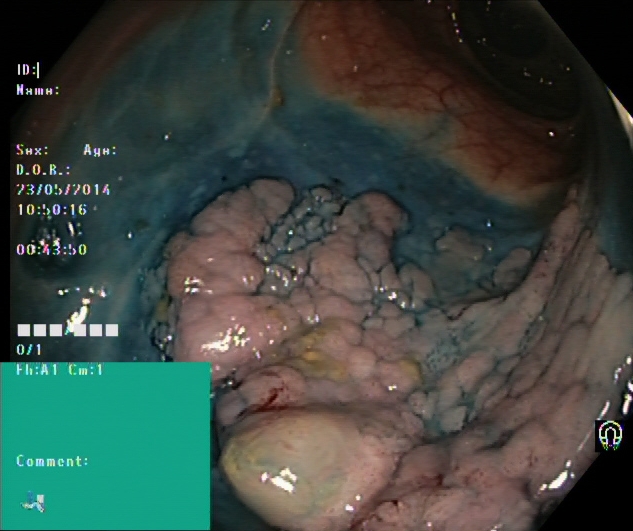Dyed and lifted polyp (pre-resection).